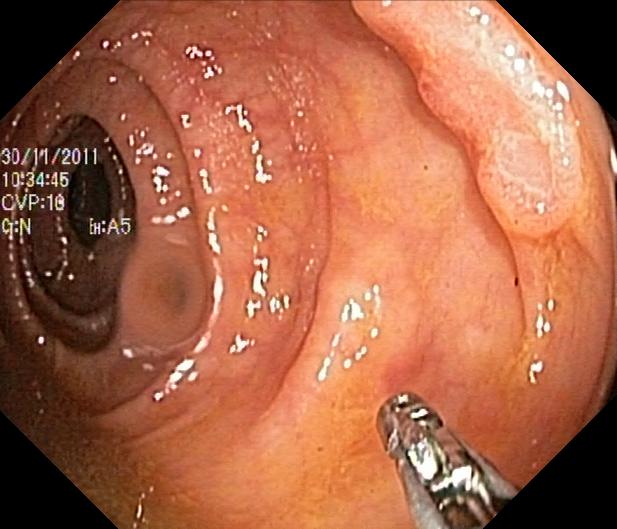modality: lower gastrointestinal endoscopy | finding: colorectal polyp(s)